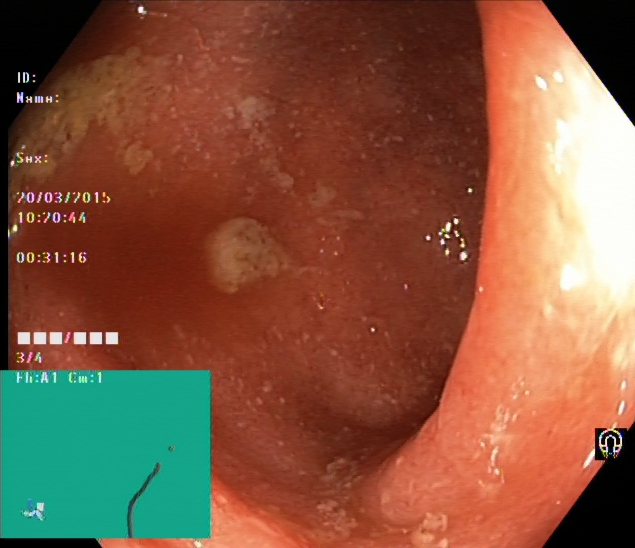Endoscopic image showing ulcerative colitis, Mayo endoscopic subscore 2.